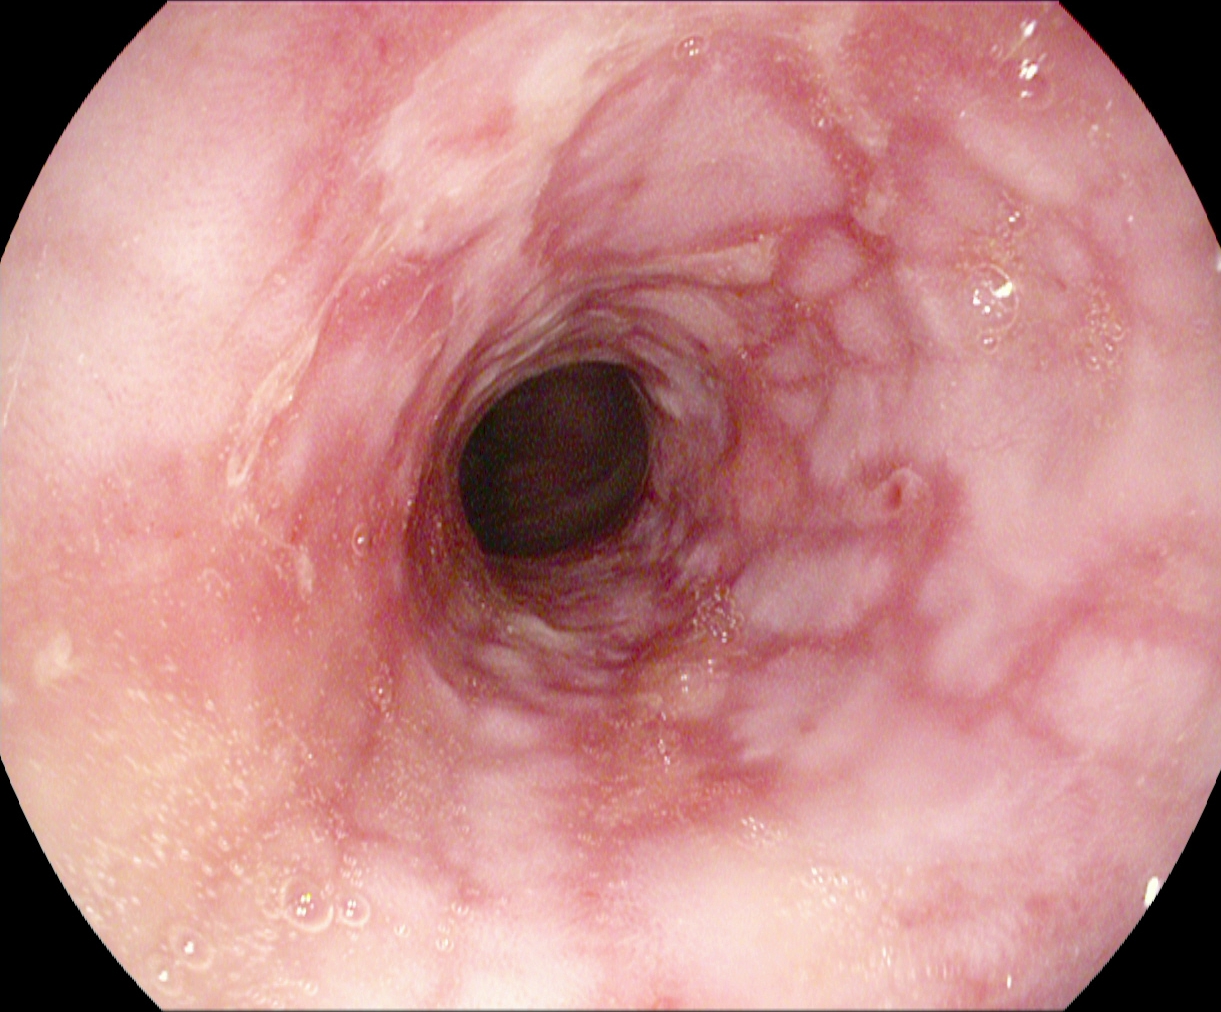{"modality": "esophagogastroduodenoscopy", "tract": "upper GI tract", "finding": "reflux esophagitis, LA grade B\u2013D"}